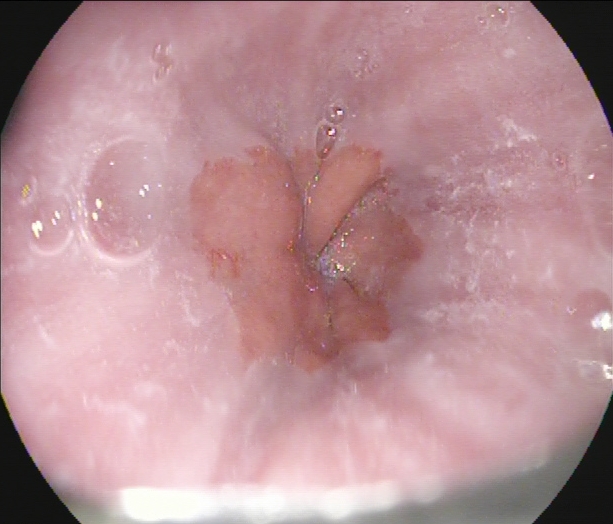Z-line (gastroesophageal junction).